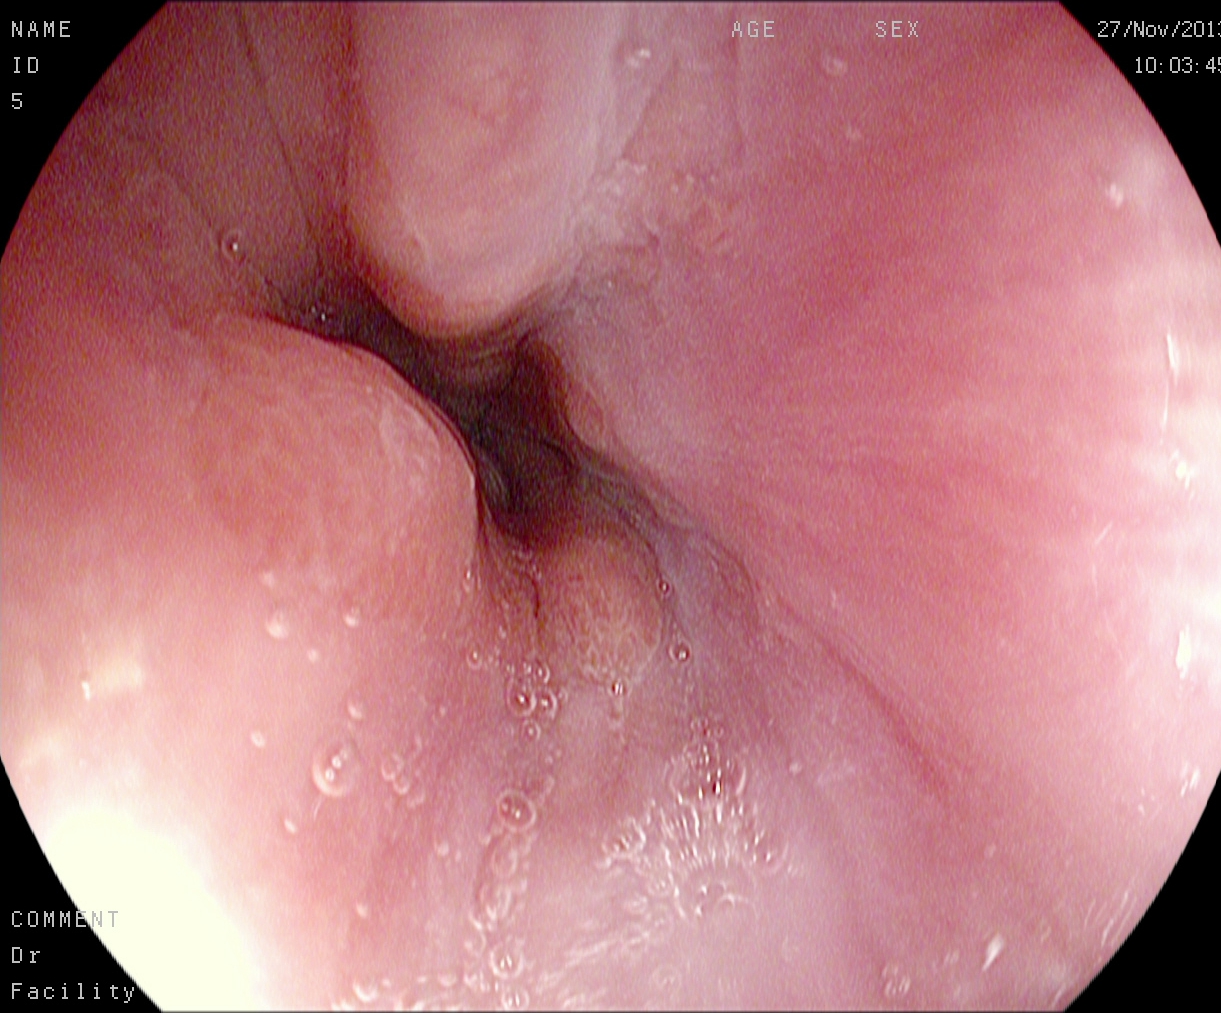PROCEDURE: EGD.
FINDINGS: Z-line (gastroesophageal junction).